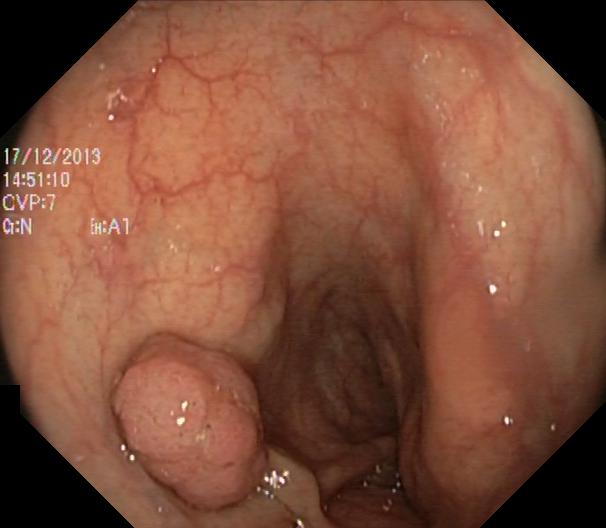Colorectal polyp(s).